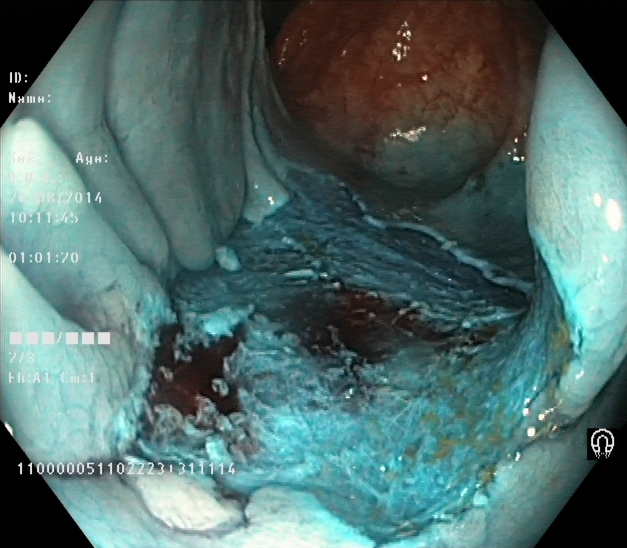modality: lower gastrointestinal endoscopy
finding: dyed resection margins (post-polypectomy)